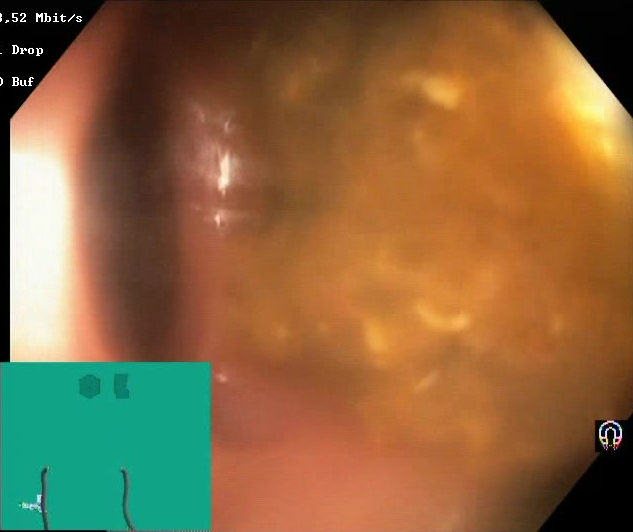Lower gastrointestinal endoscopy. Tract: lower GI tract. Finding: Boston Bowel Preparation Scale score 0–1 (inadequate preparation).